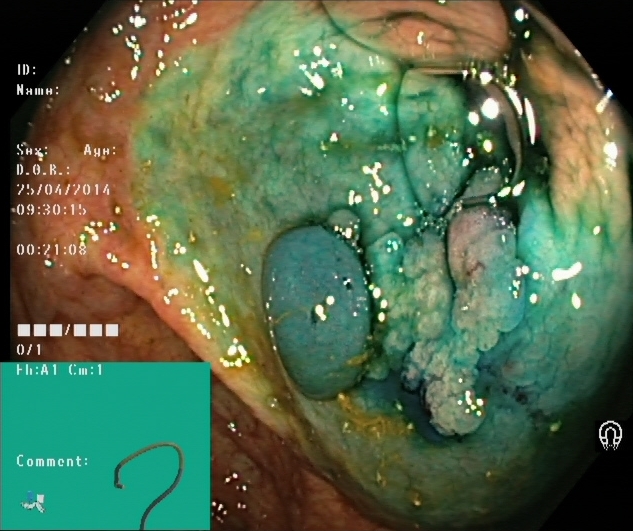Lower gastrointestinal endoscopy. Tract: lower GI tract. Finding: dyed and lifted polyp (pre-resection).